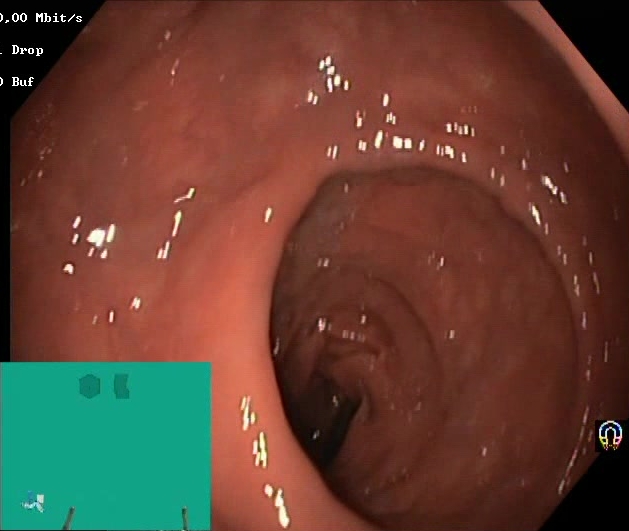Lower-GI endoscopy — Boston Bowel Preparation Scale score 2–3 (adequate preparation).